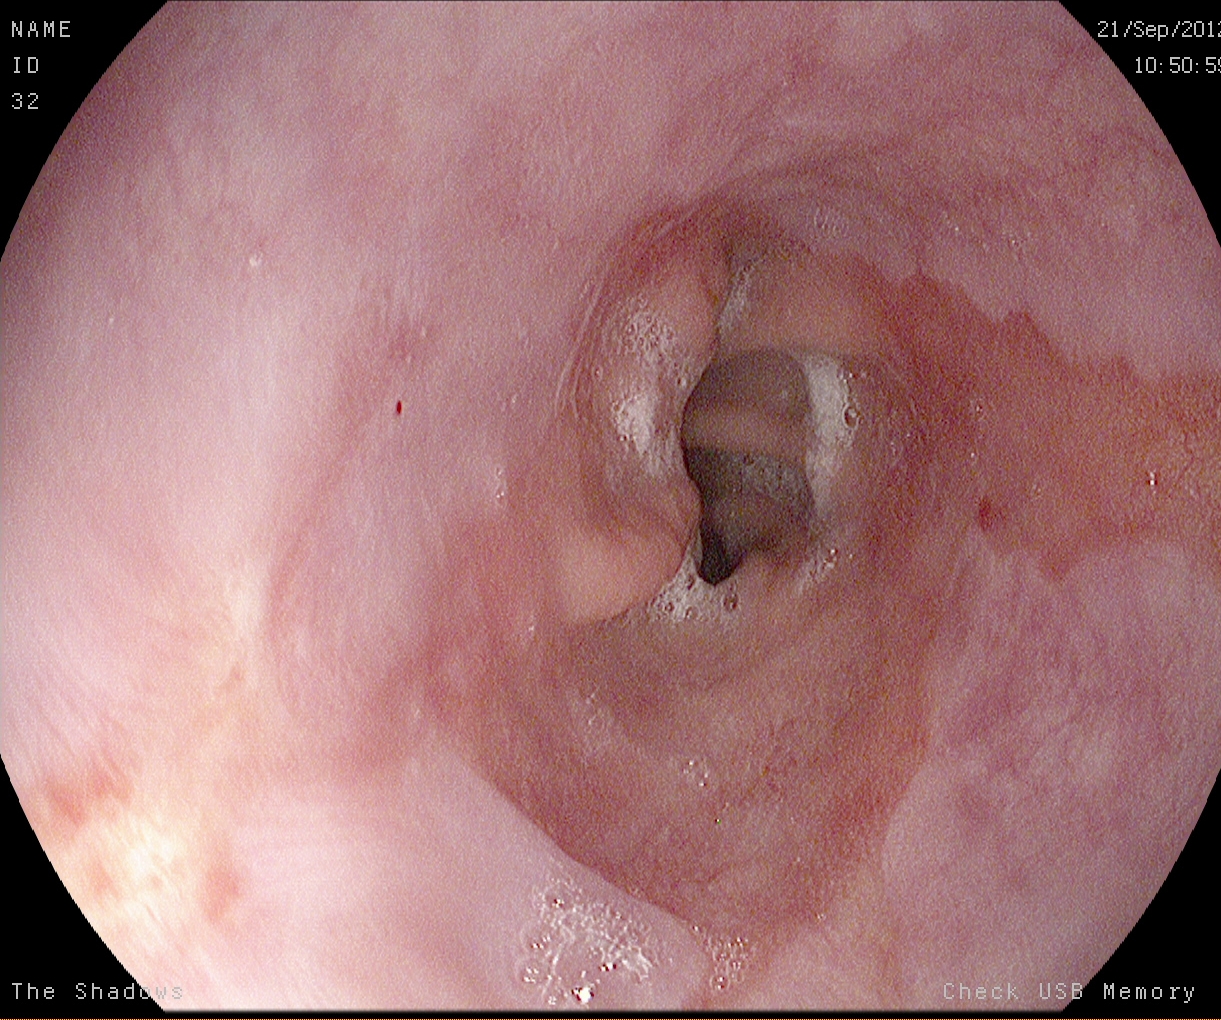EGD — Barrett's esophagus, short segment.